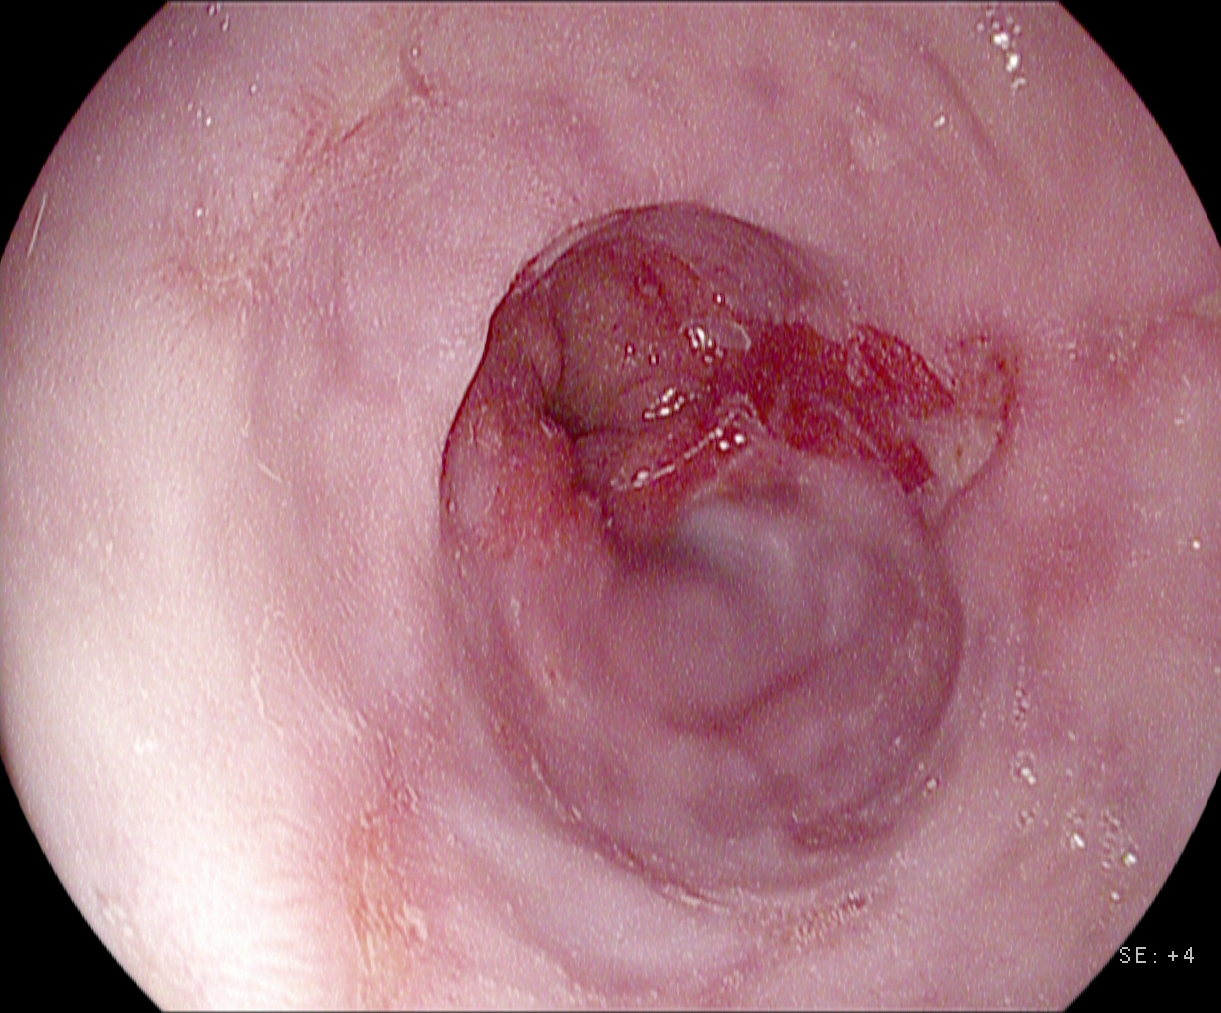PROCEDURE: Upper-GI endoscopy.
FINDINGS: Reflux esophagitis, LA grade B–D.